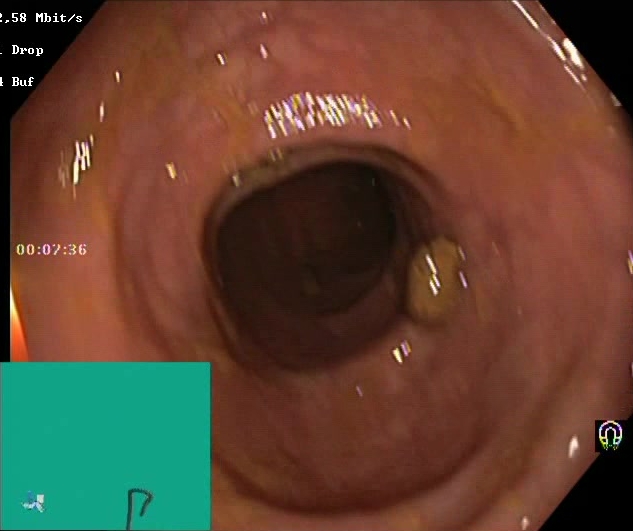Boston Bowel Preparation Scale score 2–3 (adequate preparation).